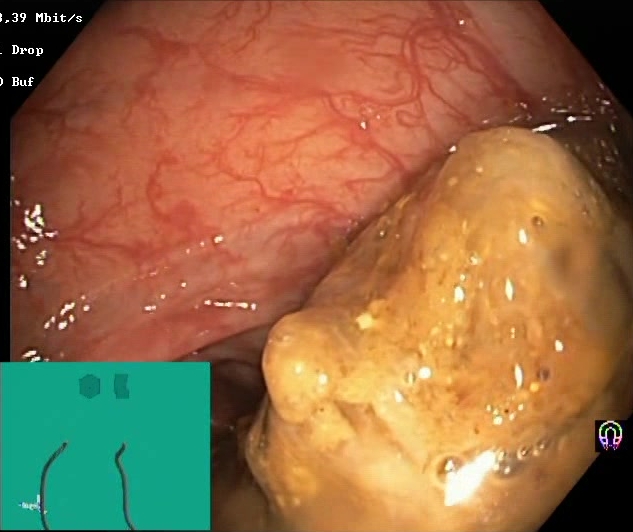PROCEDURE: Lower-GI endoscopy.
CATEGORY: Mucosal-view quality.
FINDINGS: BBPS score 0–1 (inadequate preparation).